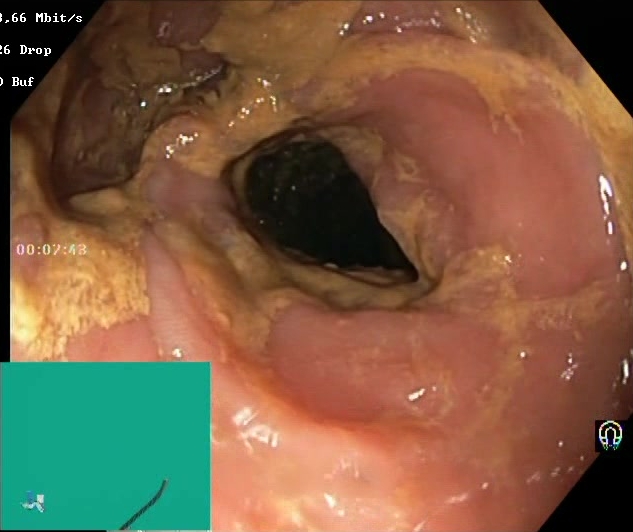modality: lower-GI endoscopy; category: mucosal-view quality; finding: Boston Bowel Preparation Scale score 0–1 (inadequate preparation)